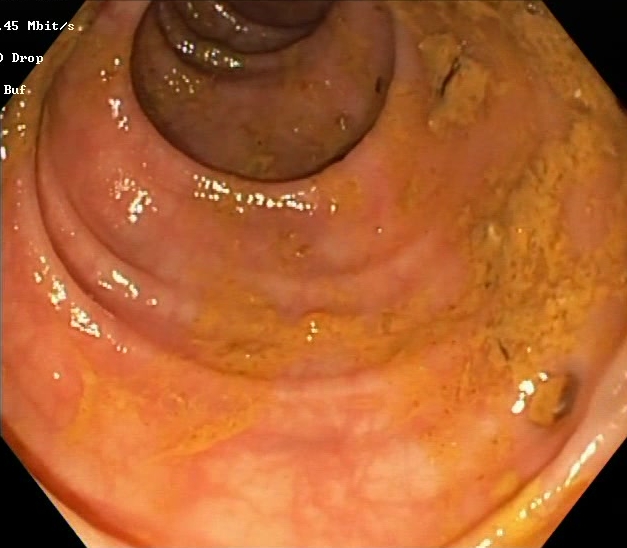modality: lower gastrointestinal endoscopy; finding: Boston Bowel Preparation Scale score 0–1 (inadequate preparation)